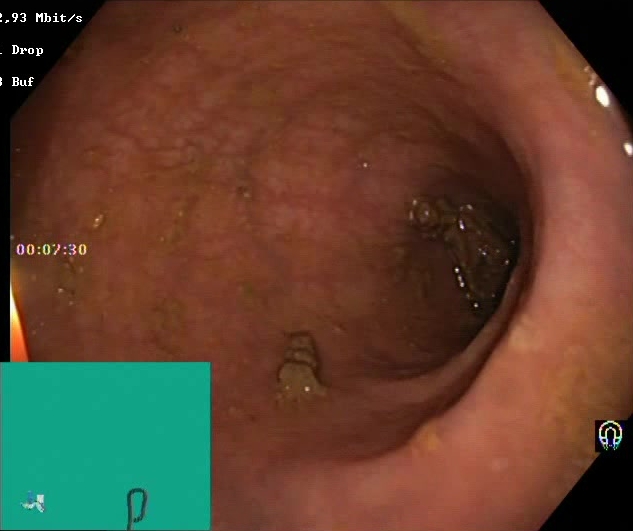Lower gastrointestinal endoscopy. Tract: lower GI tract. Finding: Boston Bowel Preparation Scale score 2–3 (adequate preparation).